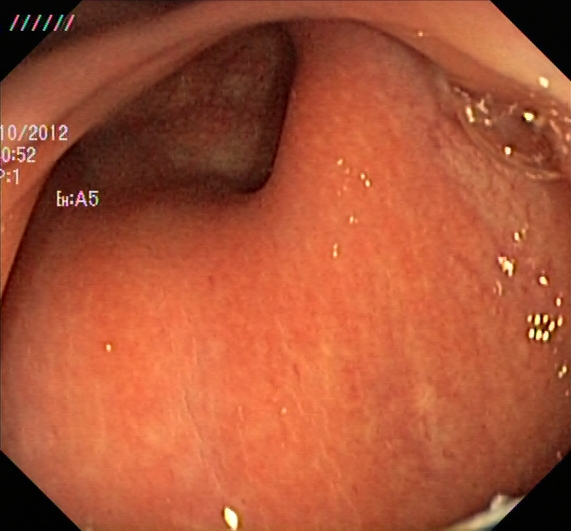Endoscopic frame showing UC, Mayo endoscopic subscore 1.